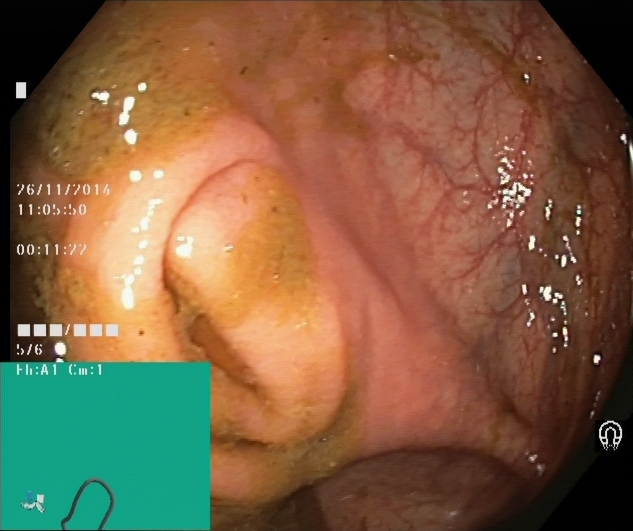{"modality": "colonoscopy", "tract": "lower GI tract", "finding": "cecum"}